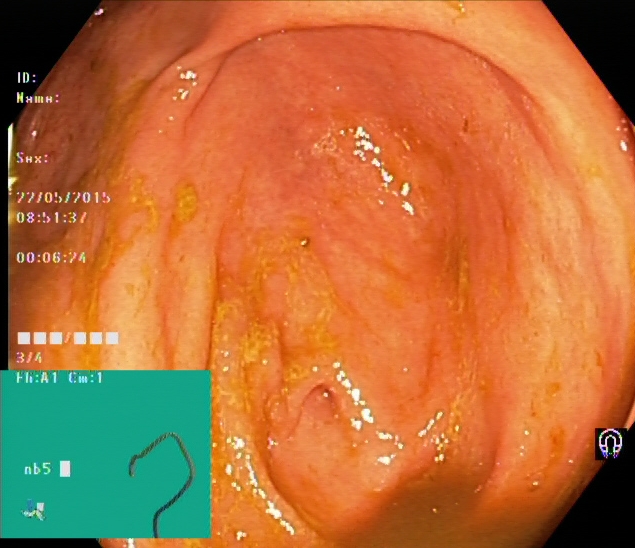This endoscopy frame shows cecum.